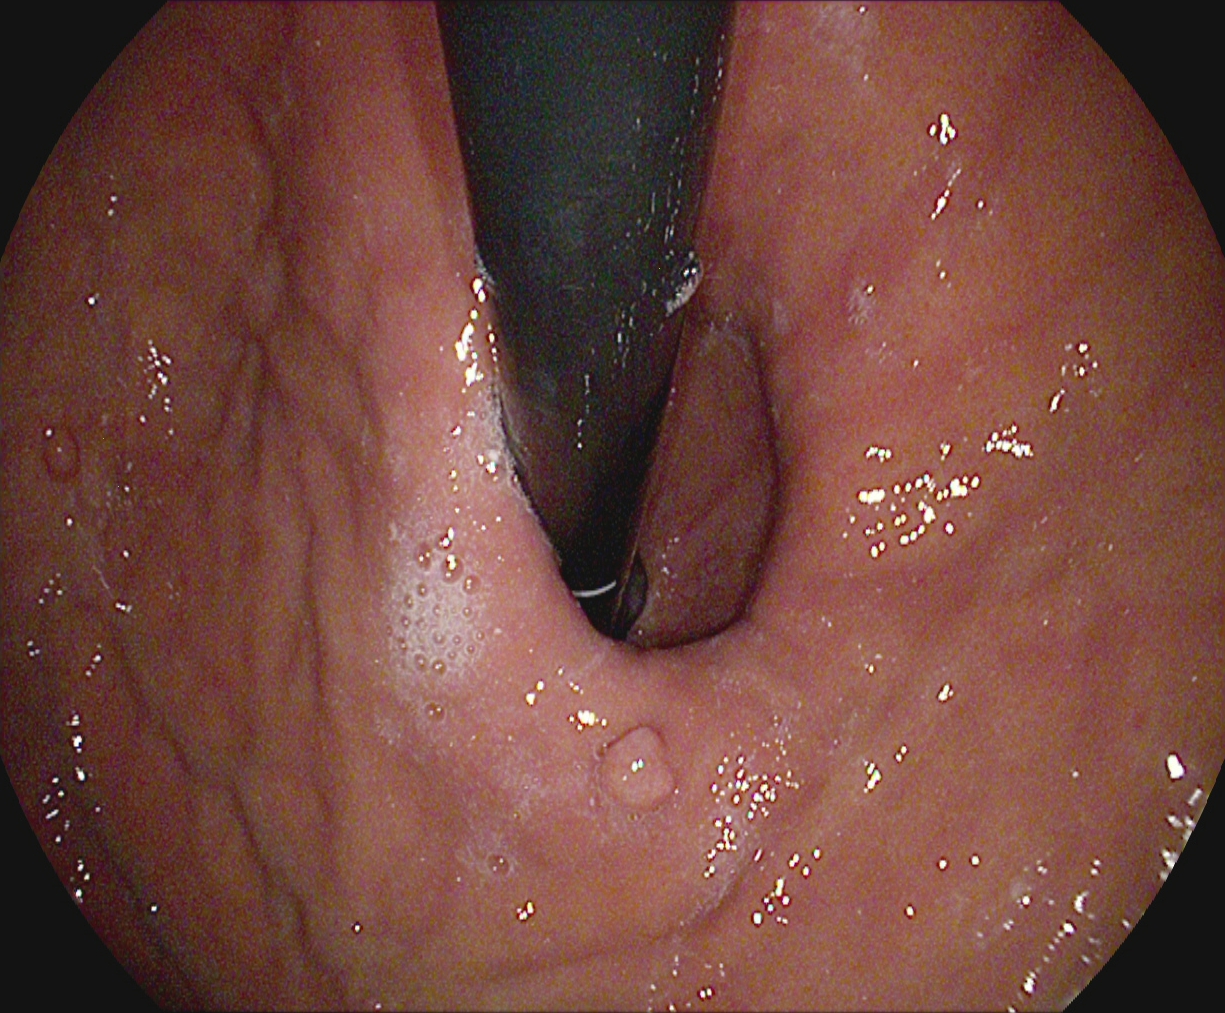This endoscopic image of the upper GI tract shows stomach in retroflexion.